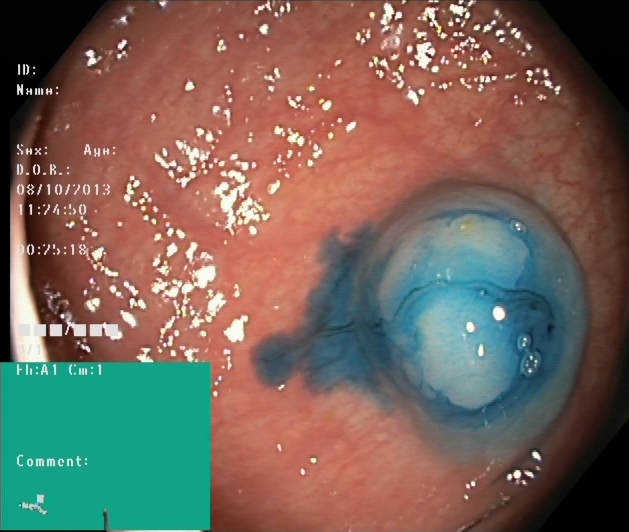Lower-GI endoscopy. Tract: lower GI tract. Therapeutic intervention. Finding: dyed and lifted polyp (pre-resection).